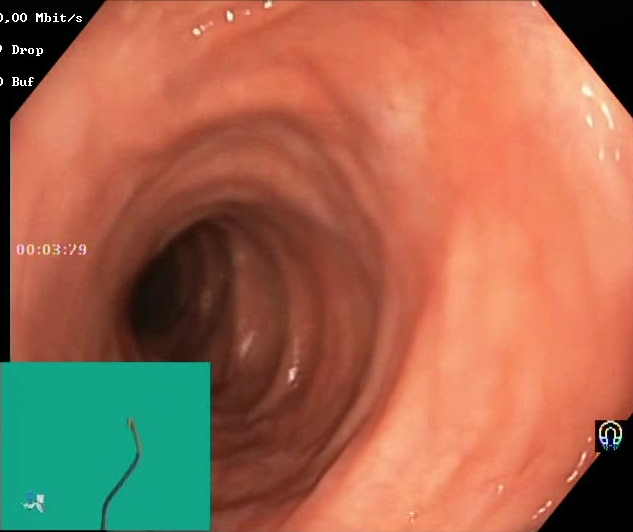Boston Bowel Preparation Scale score 2–3 (adequate preparation).